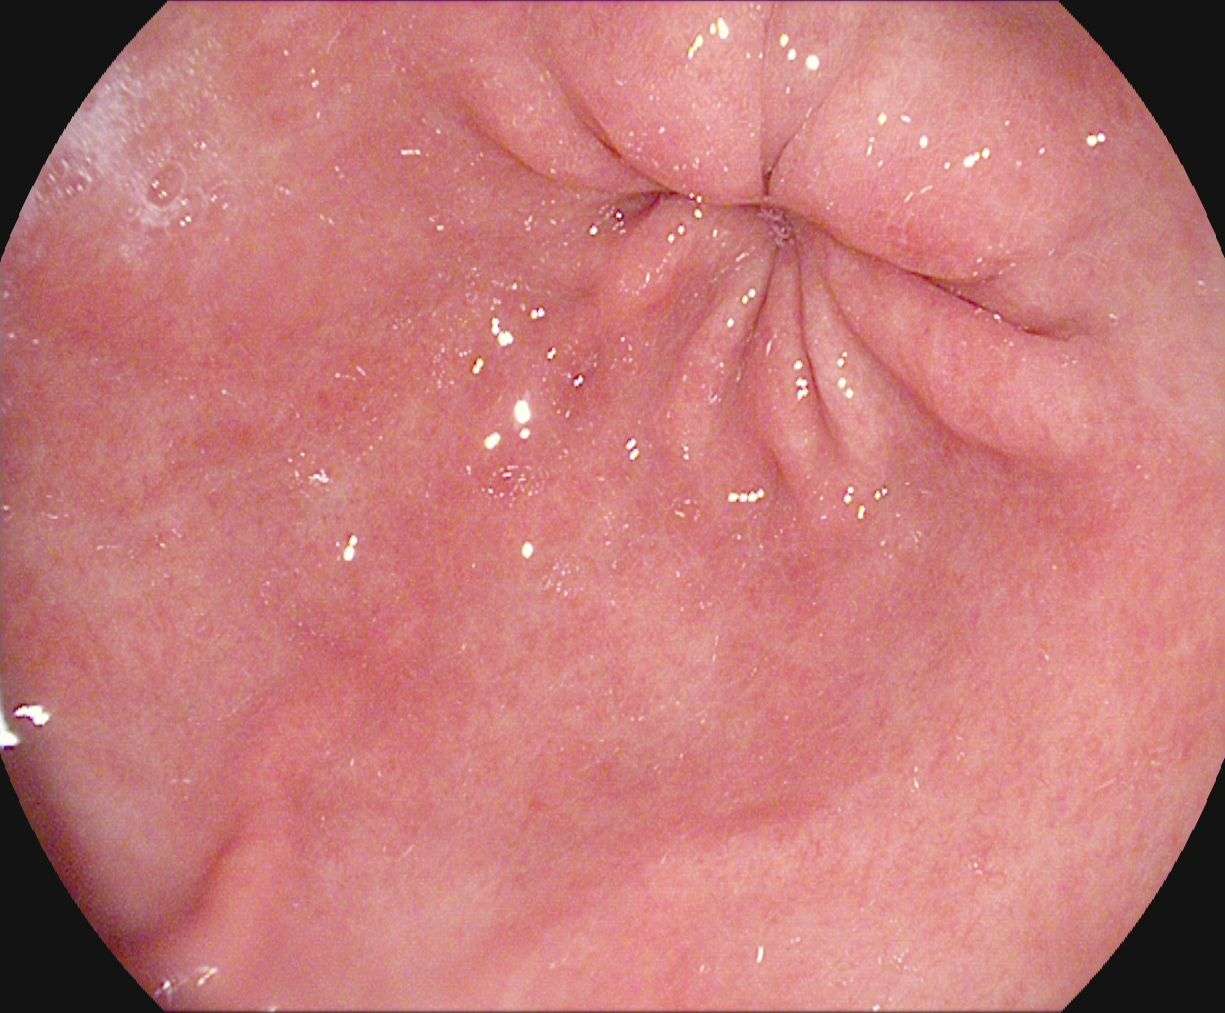PROCEDURE: Upper-GI endoscopy.
FINDINGS: Pylorus.